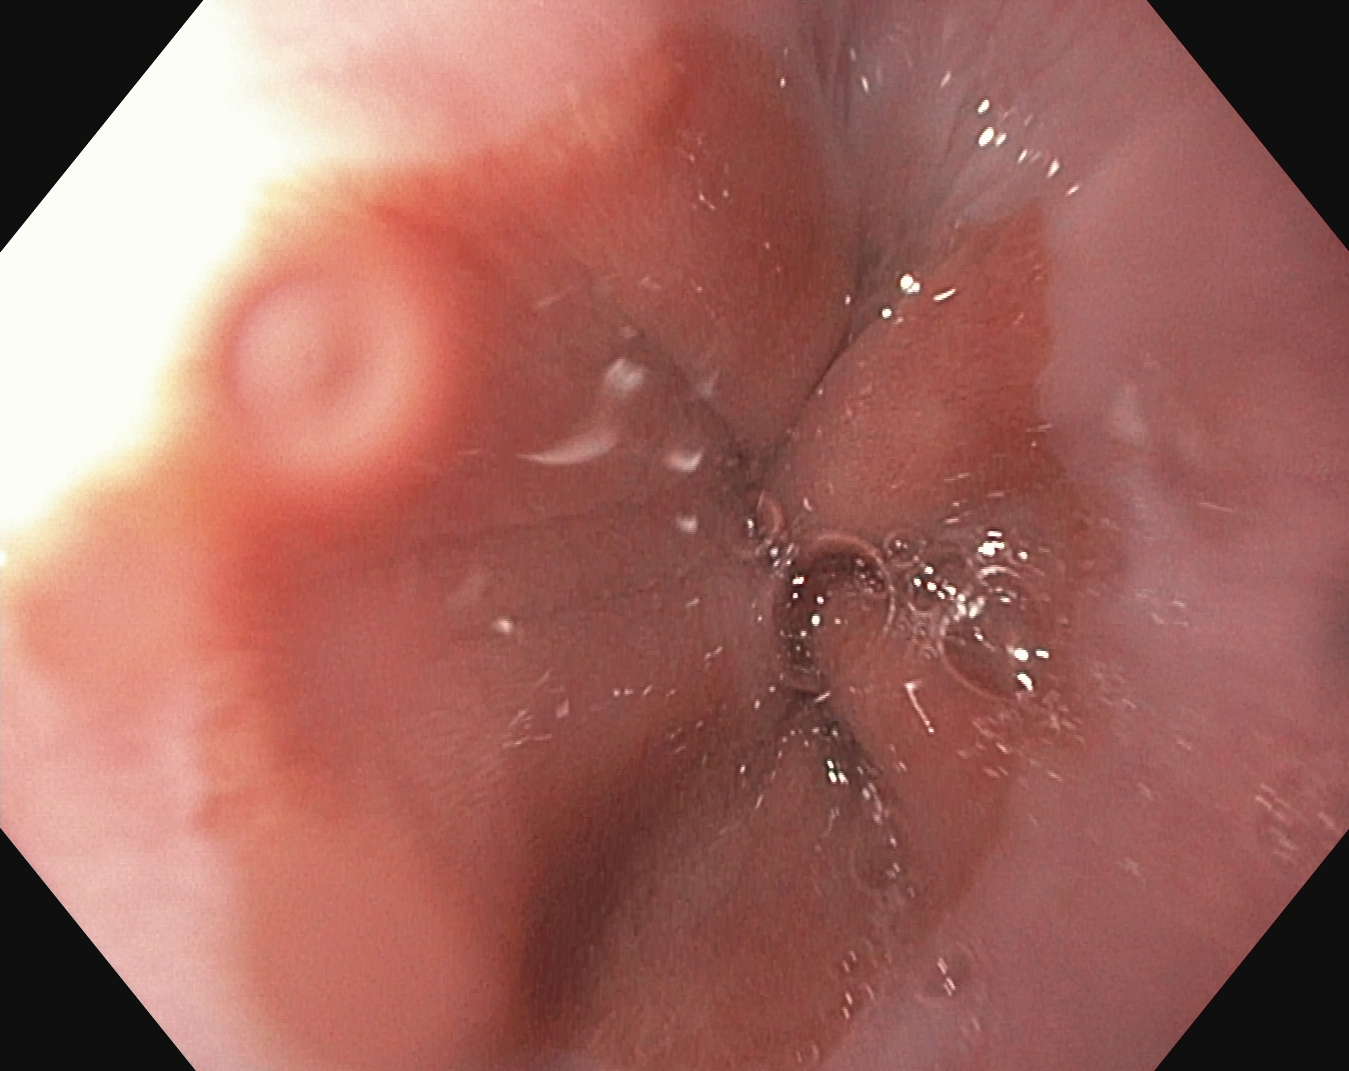Esophagogastroduodenoscopy — Z-line (gastroesophageal junction).